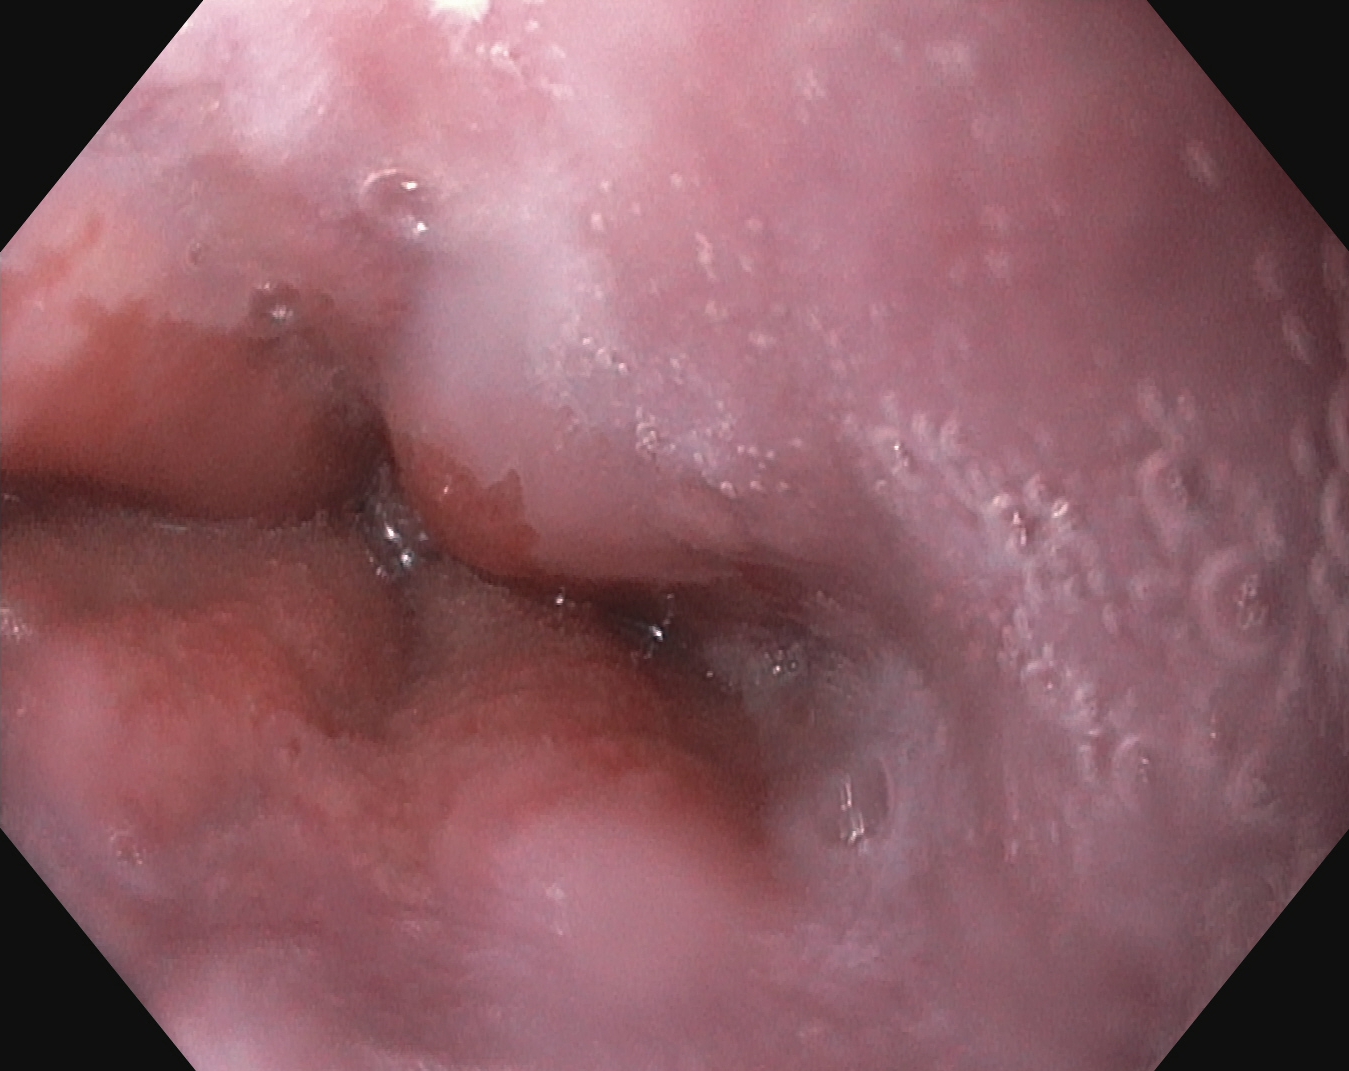Upper-GI endoscopy. Tract: upper GI tract. Anatomical landmark. Finding: Z-line (gastroesophageal junction).